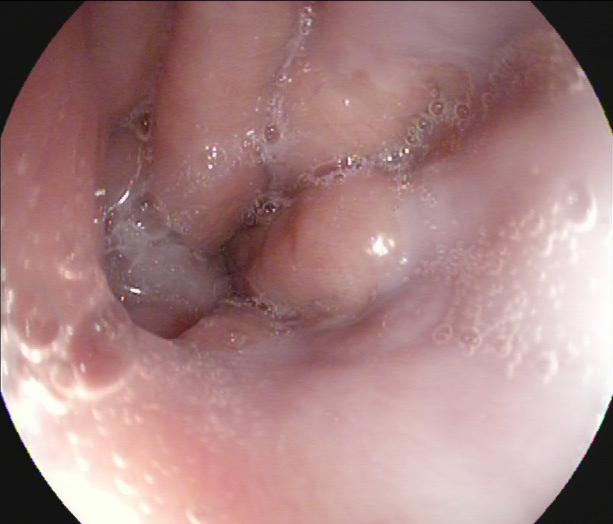{"modality": "esophagogastroduodenoscopy", "finding": "Z-line (gastroesophageal junction)"}